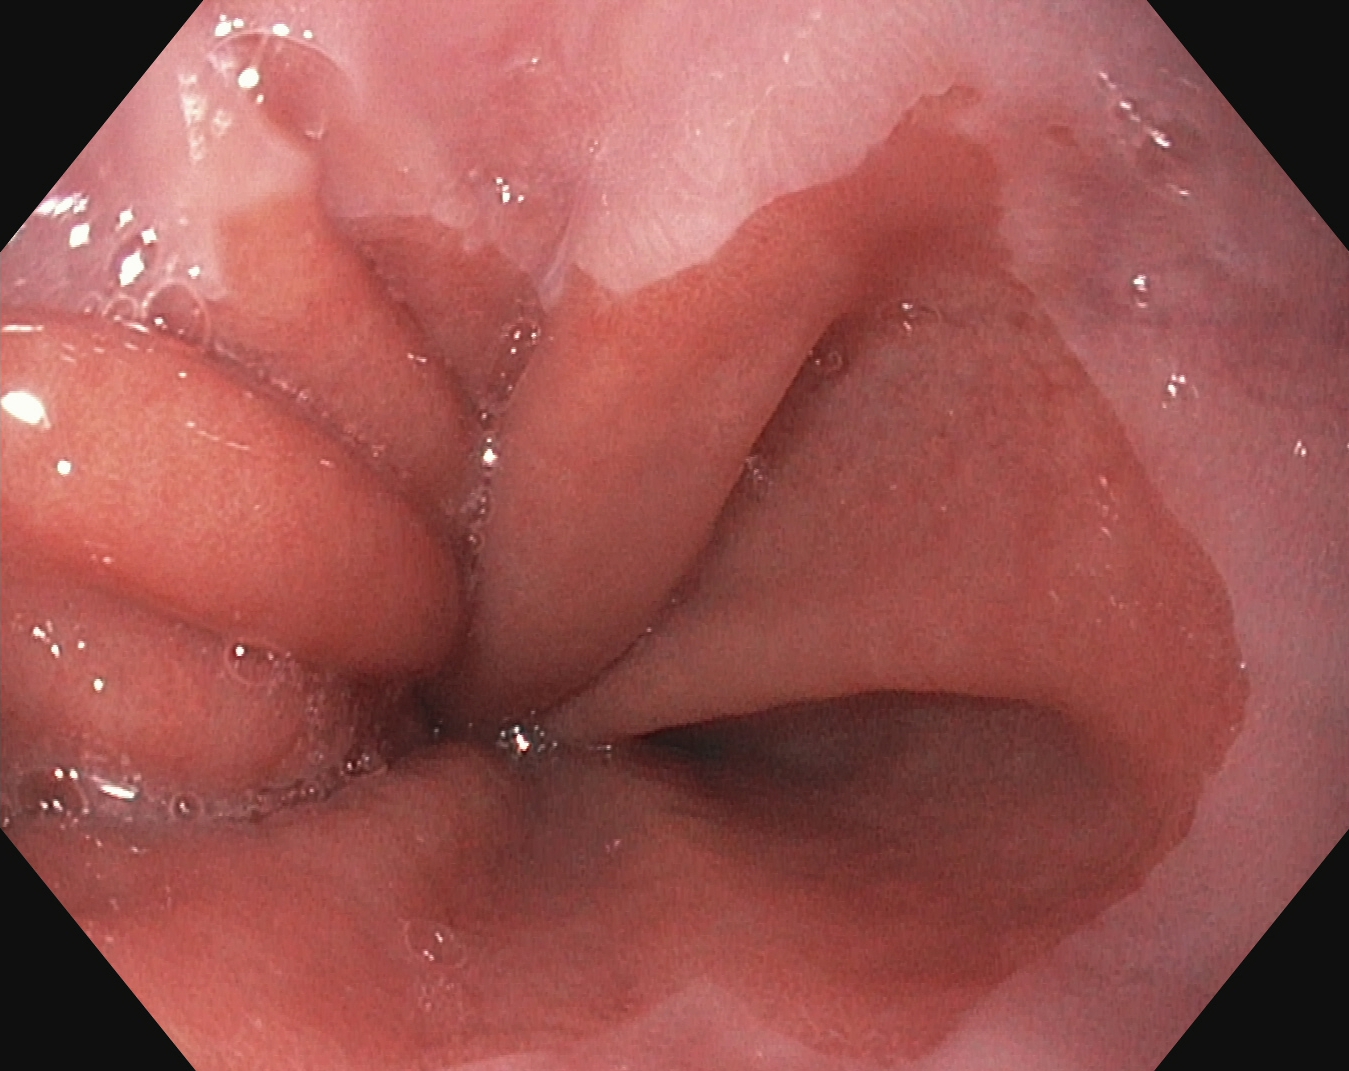PROCEDURE: Esophagogastroduodenoscopy.
CATEGORY: Anatomical landmark.
FINDINGS: Z-line (gastroesophageal junction).